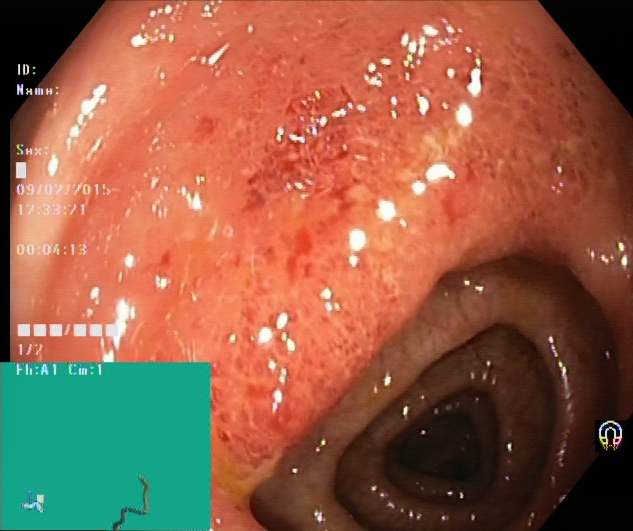UC, Mayo endoscopic subscore 2.